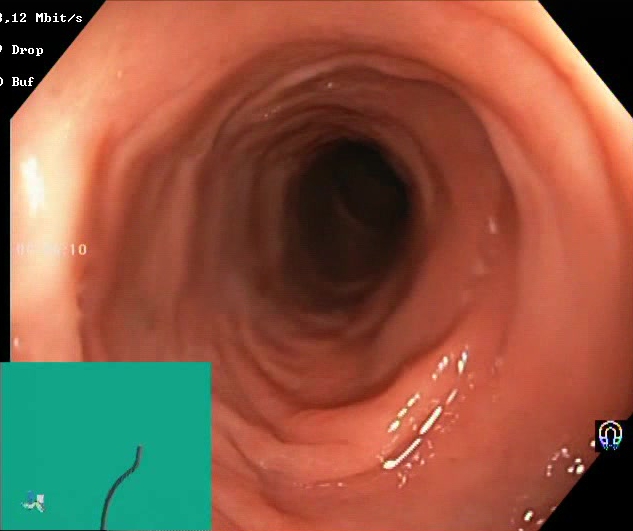Boston Bowel Preparation Scale score 2–3 (adequate preparation).